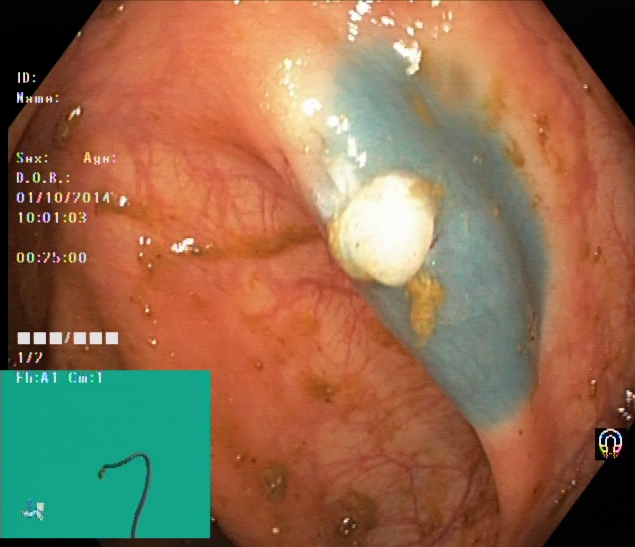{"modality": "colonoscopy", "finding": "dyed and lifted polyp (pre-resection)"}